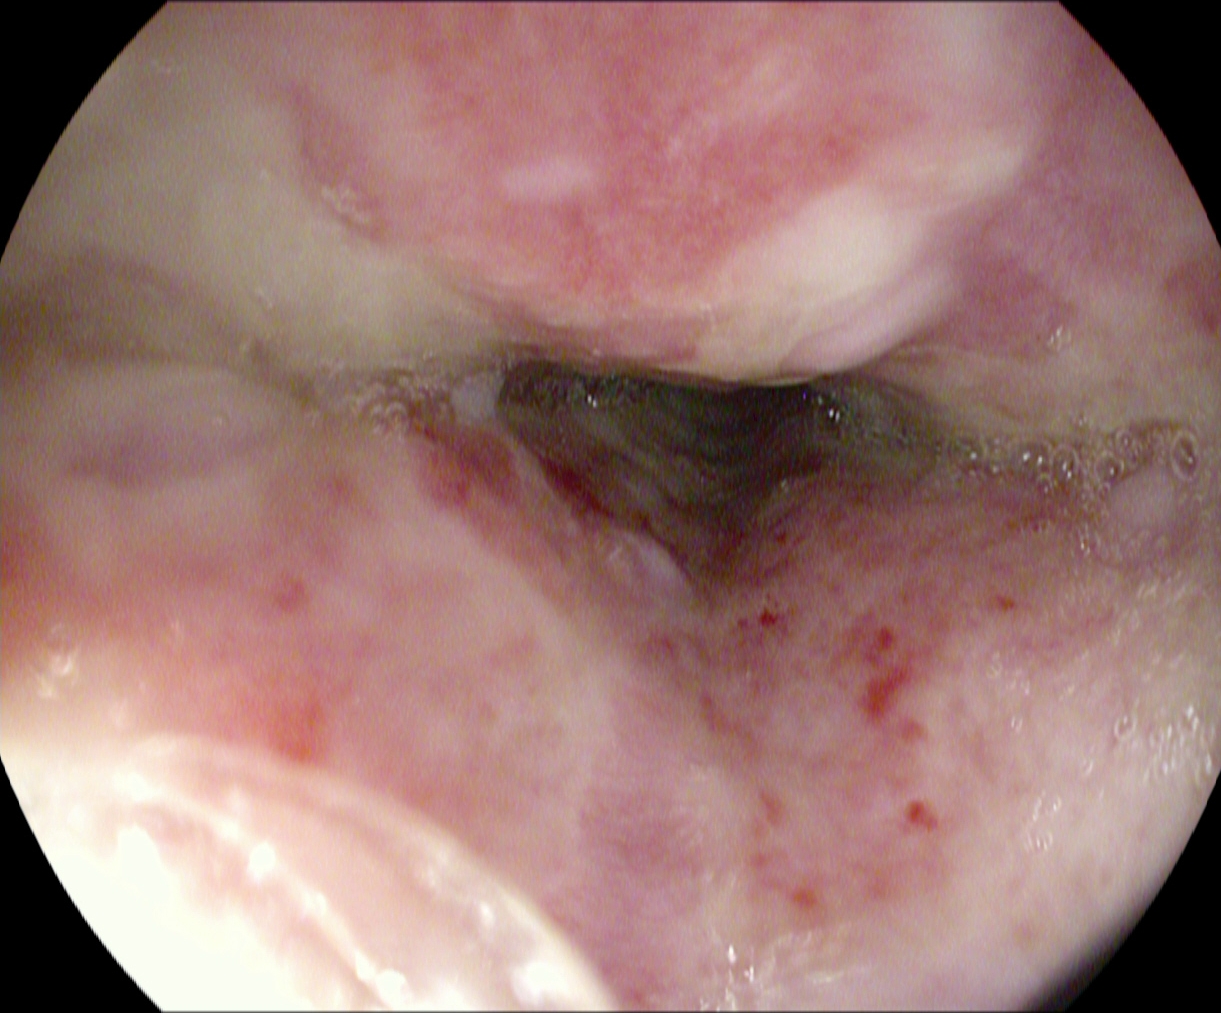Reflux esophagitis, Los Angeles grade B–D.